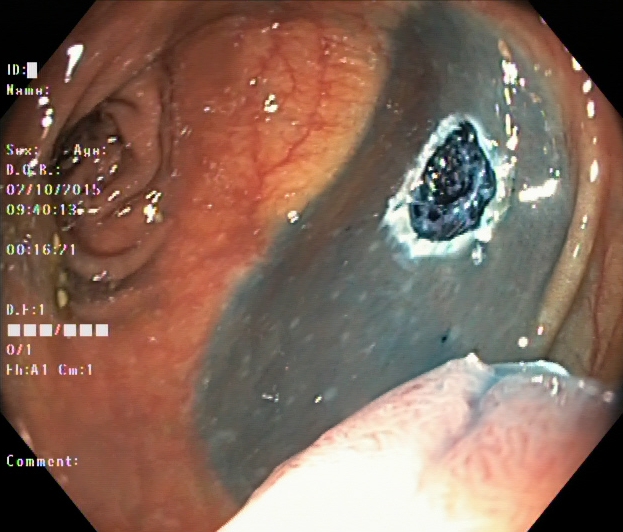Colonoscopy — dyed resection margins (post-polypectomy).